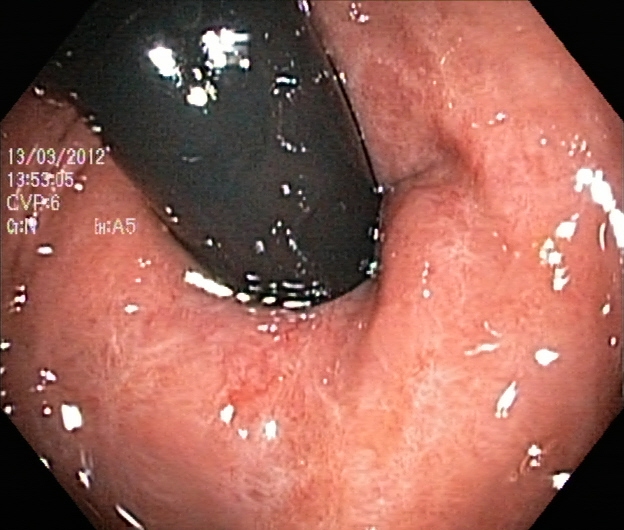PROCEDURE: Colonoscopy.
FINDINGS: Rectum in retroflexion.